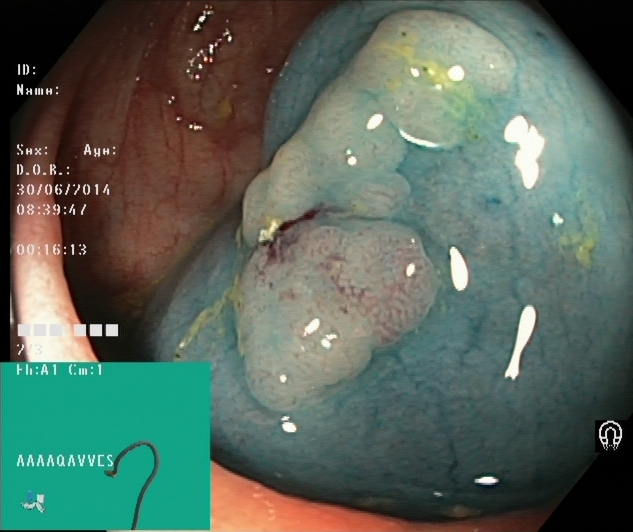dyed and lifted polyp (pre-resection).